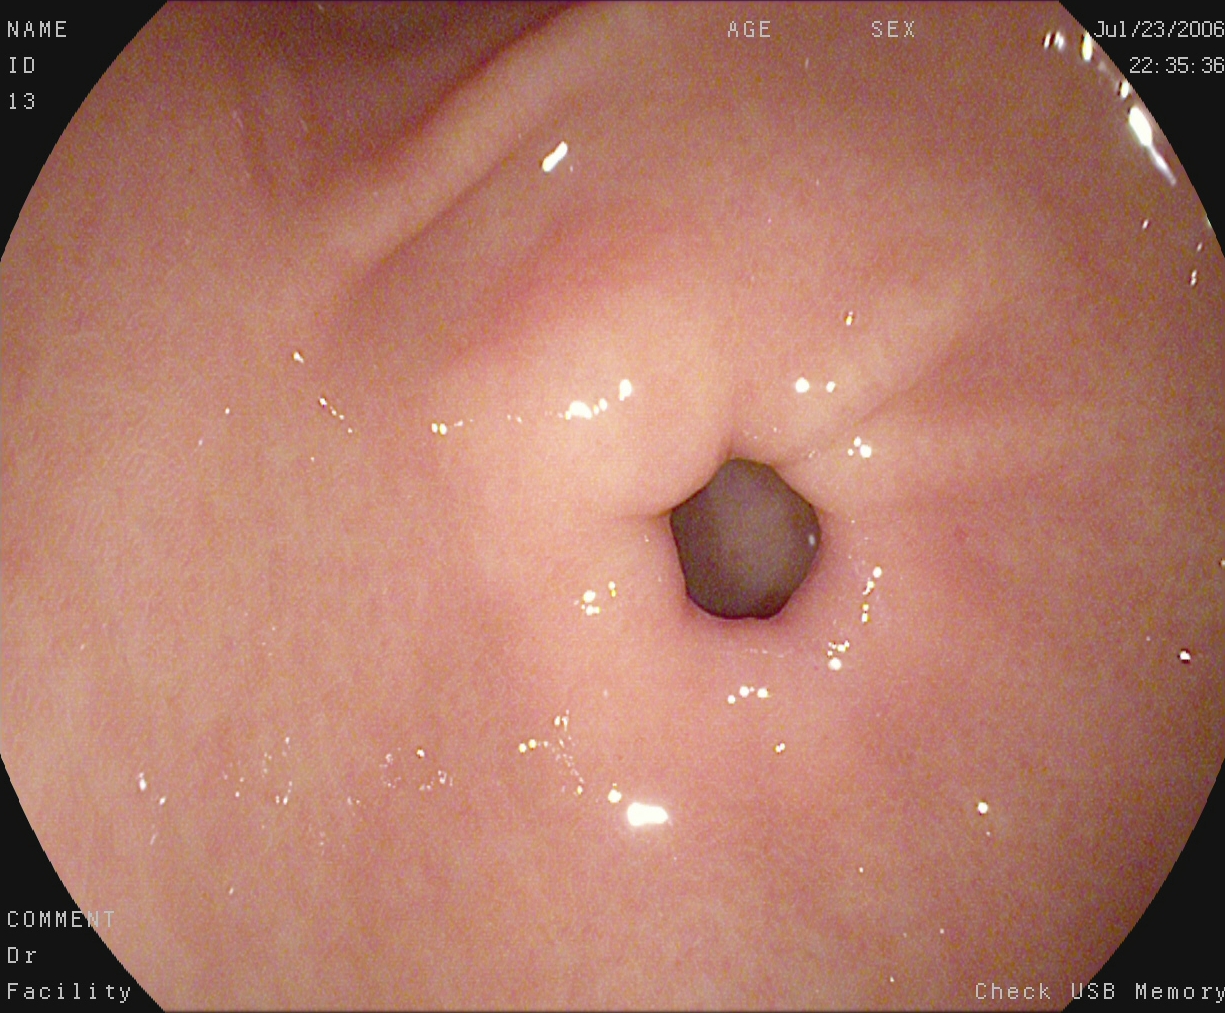modality: upper-GI endoscopy
tract: upper GI tract
category: anatomical landmark
finding: pylorus